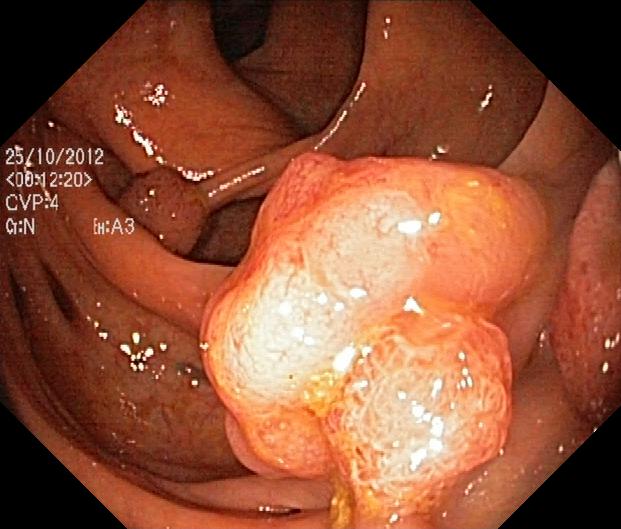Lower-GI endoscopy — colorectal polyp(s).